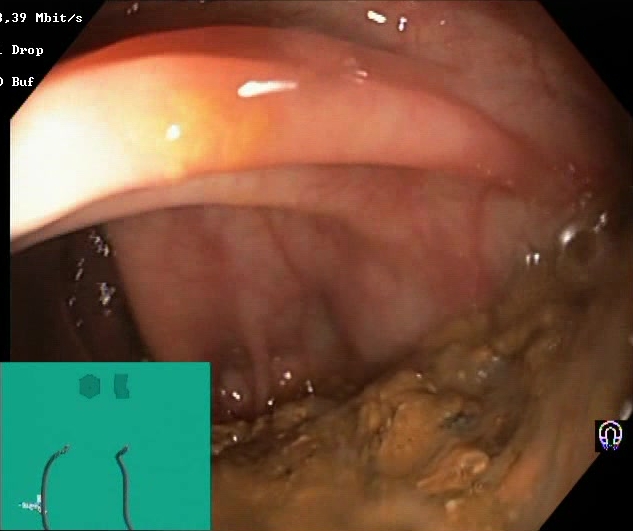{"modality": "lower gastrointestinal endoscopy", "finding": "Boston Bowel Preparation Scale score 0\u20131 (inadequate preparation)"}